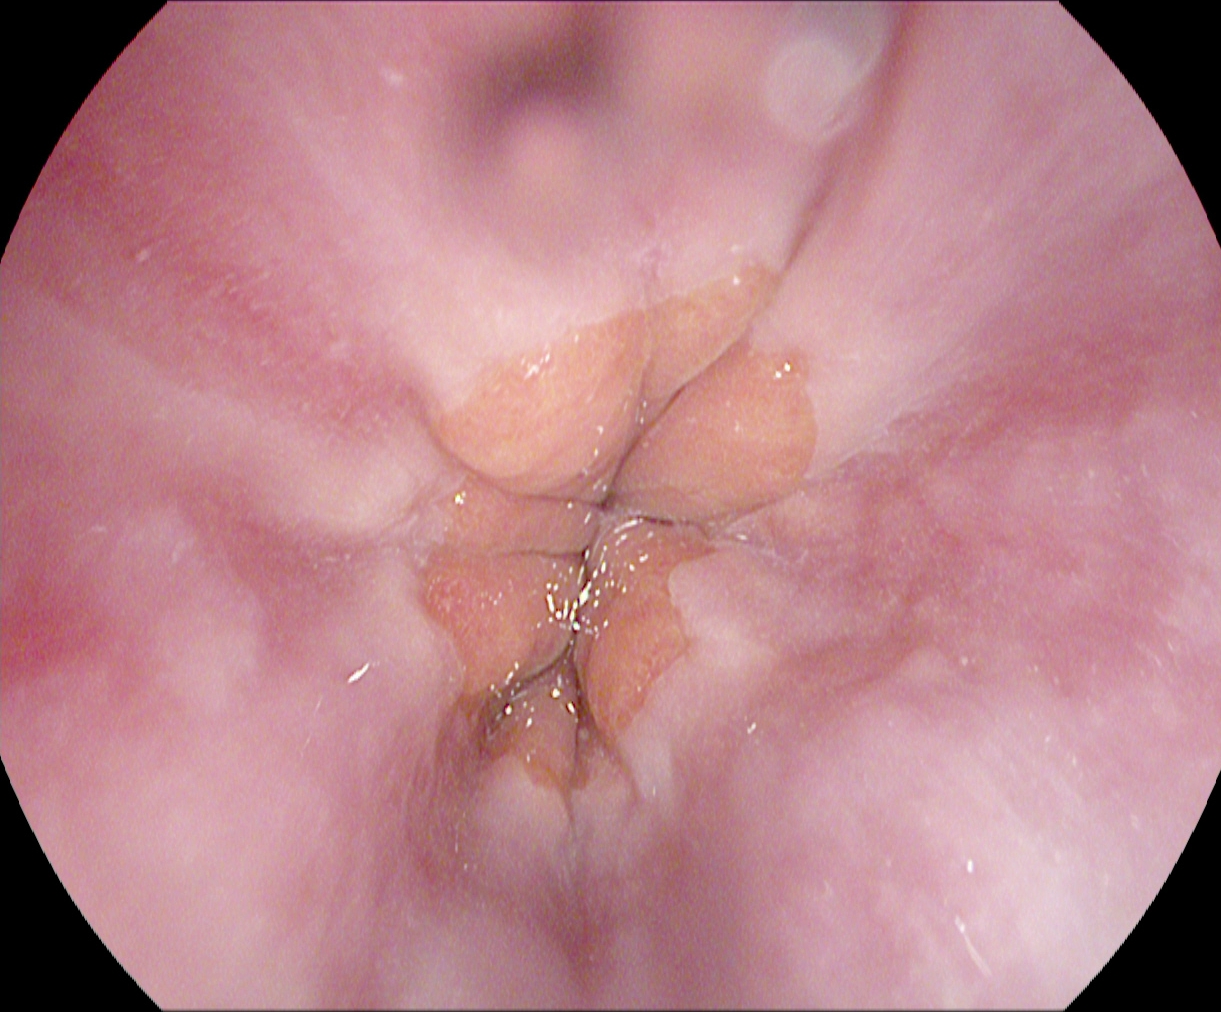Upper-GI endoscopy — Z-line (gastroesophageal junction).